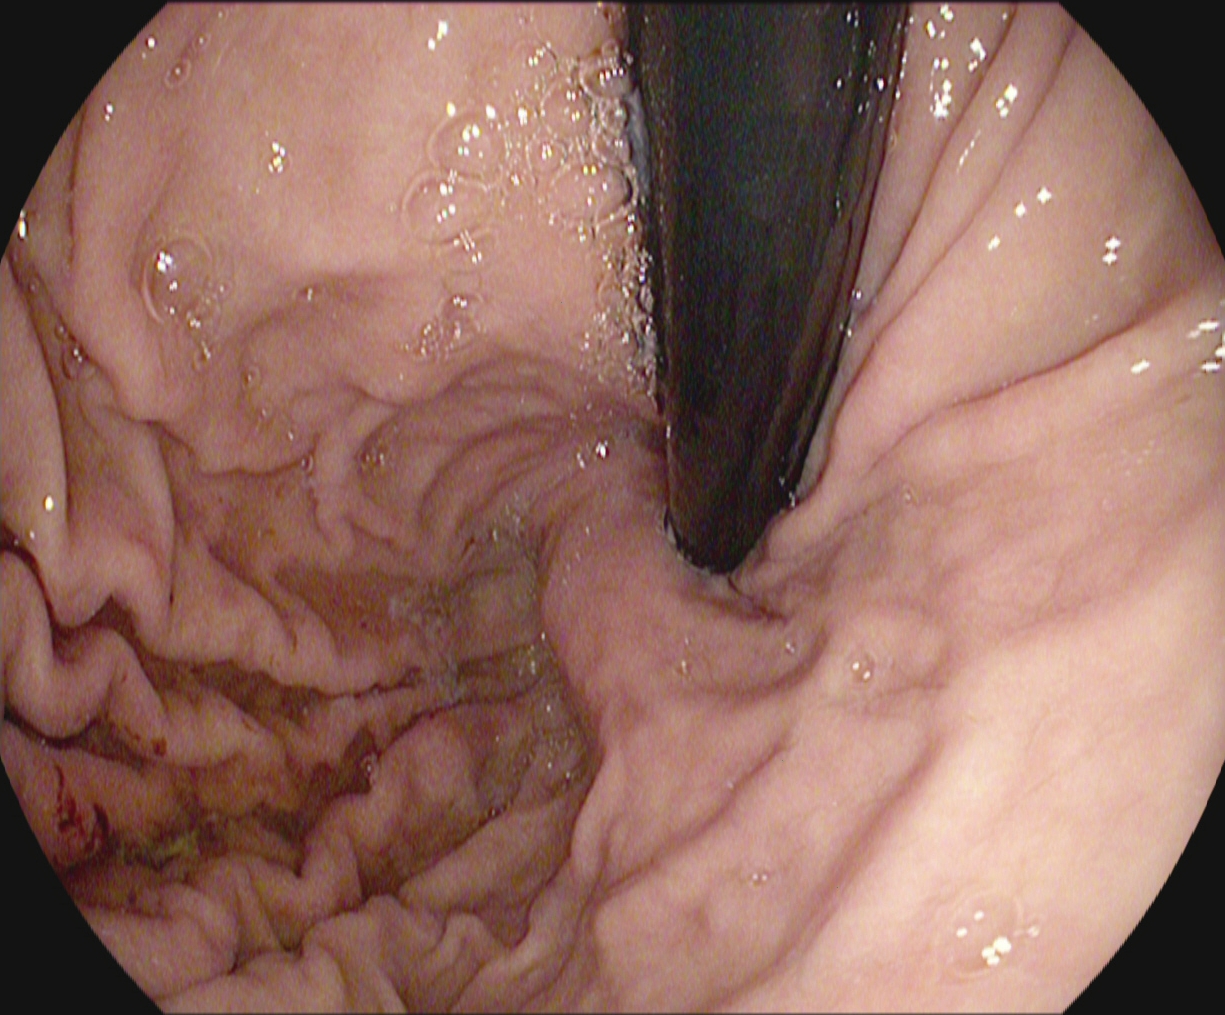modality: upper-GI endoscopy; tract: upper GI tract; finding: stomach in retroflexion